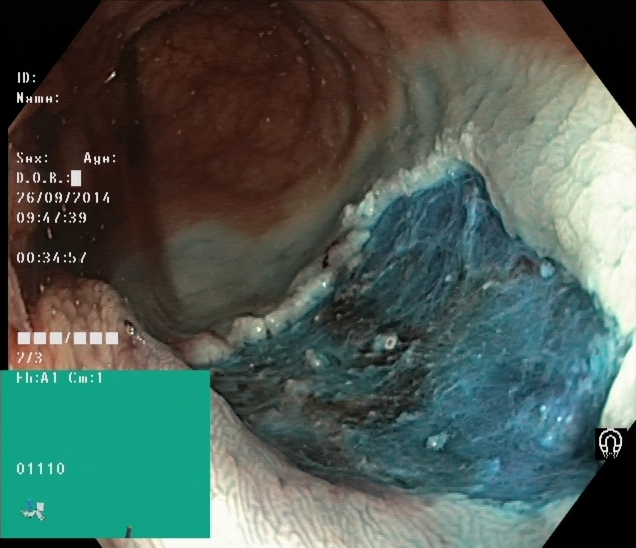Lower-GI endoscopy — dyed resection margins (post-polypectomy).